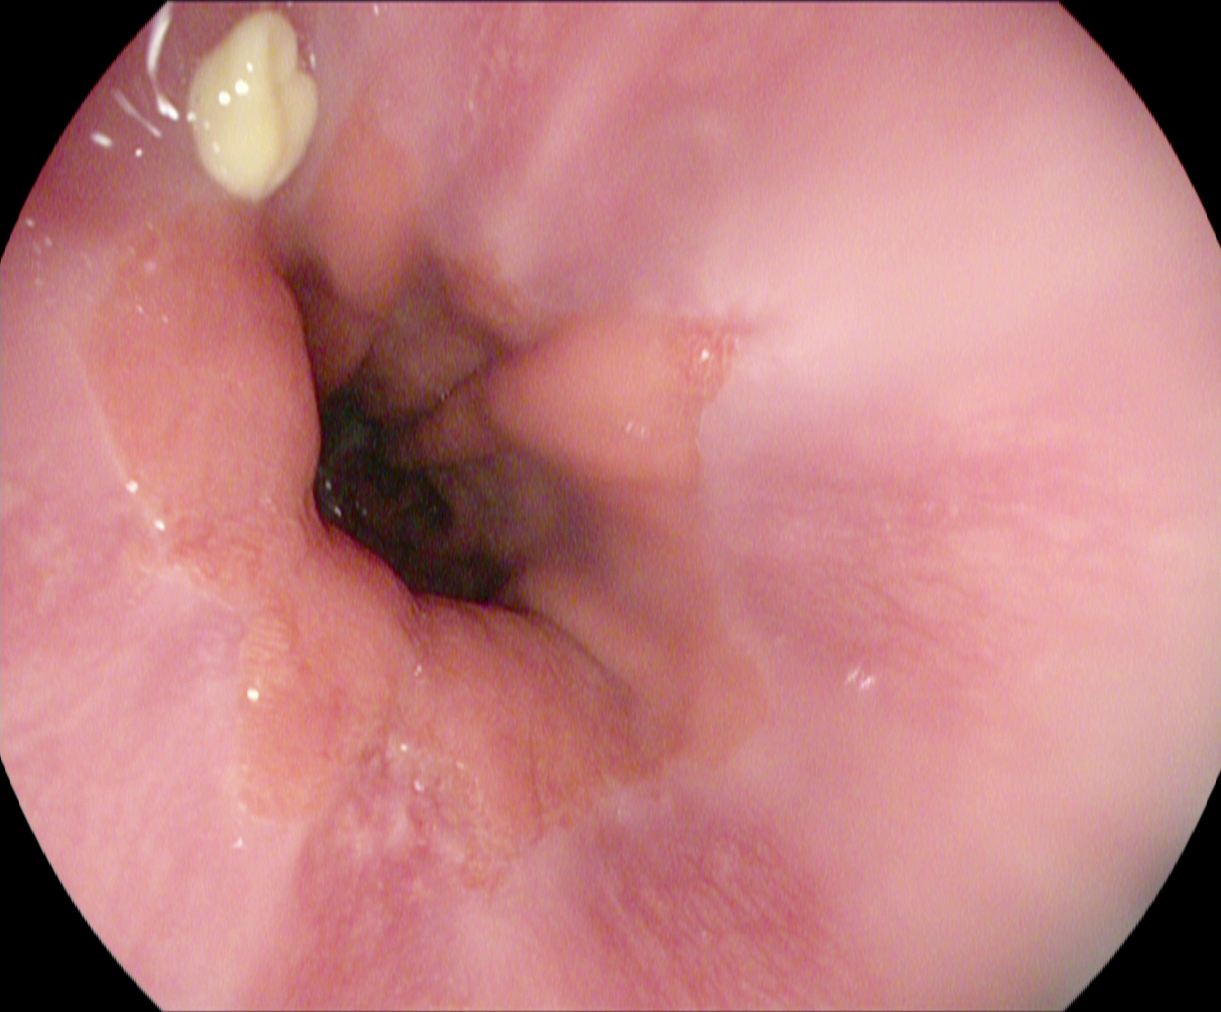PROCEDURE: EGD.
FINDINGS: Reflux esophagitis, Los Angeles grade A.